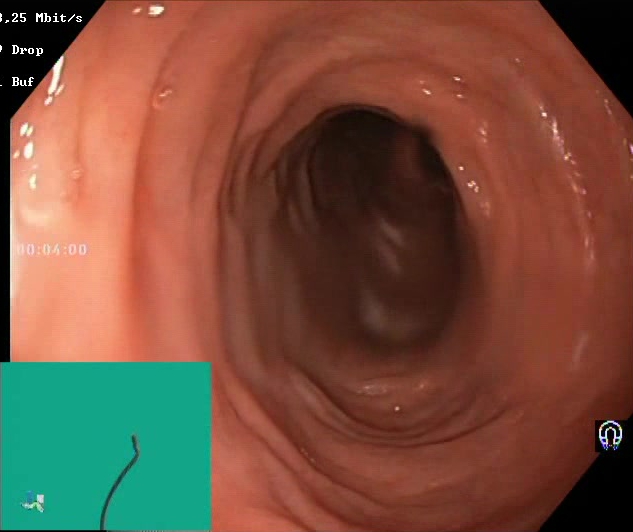BBPS score 2–3 (adequate preparation).